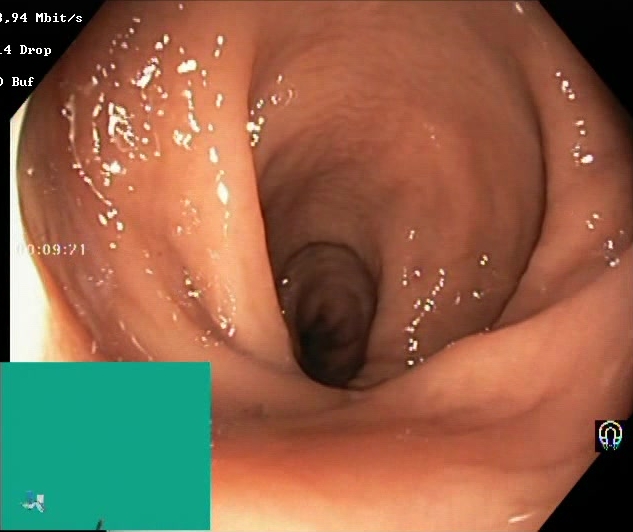This endoscopic image of the lower GI tract shows Boston Bowel Preparation Scale score 2–3 (adequate preparation).